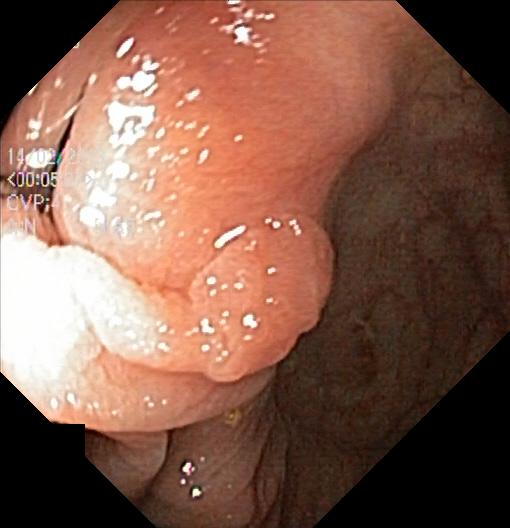{"modality": "lower-GI endoscopy", "tract": "lower GI tract", "finding": "colorectal polyp(s)"}